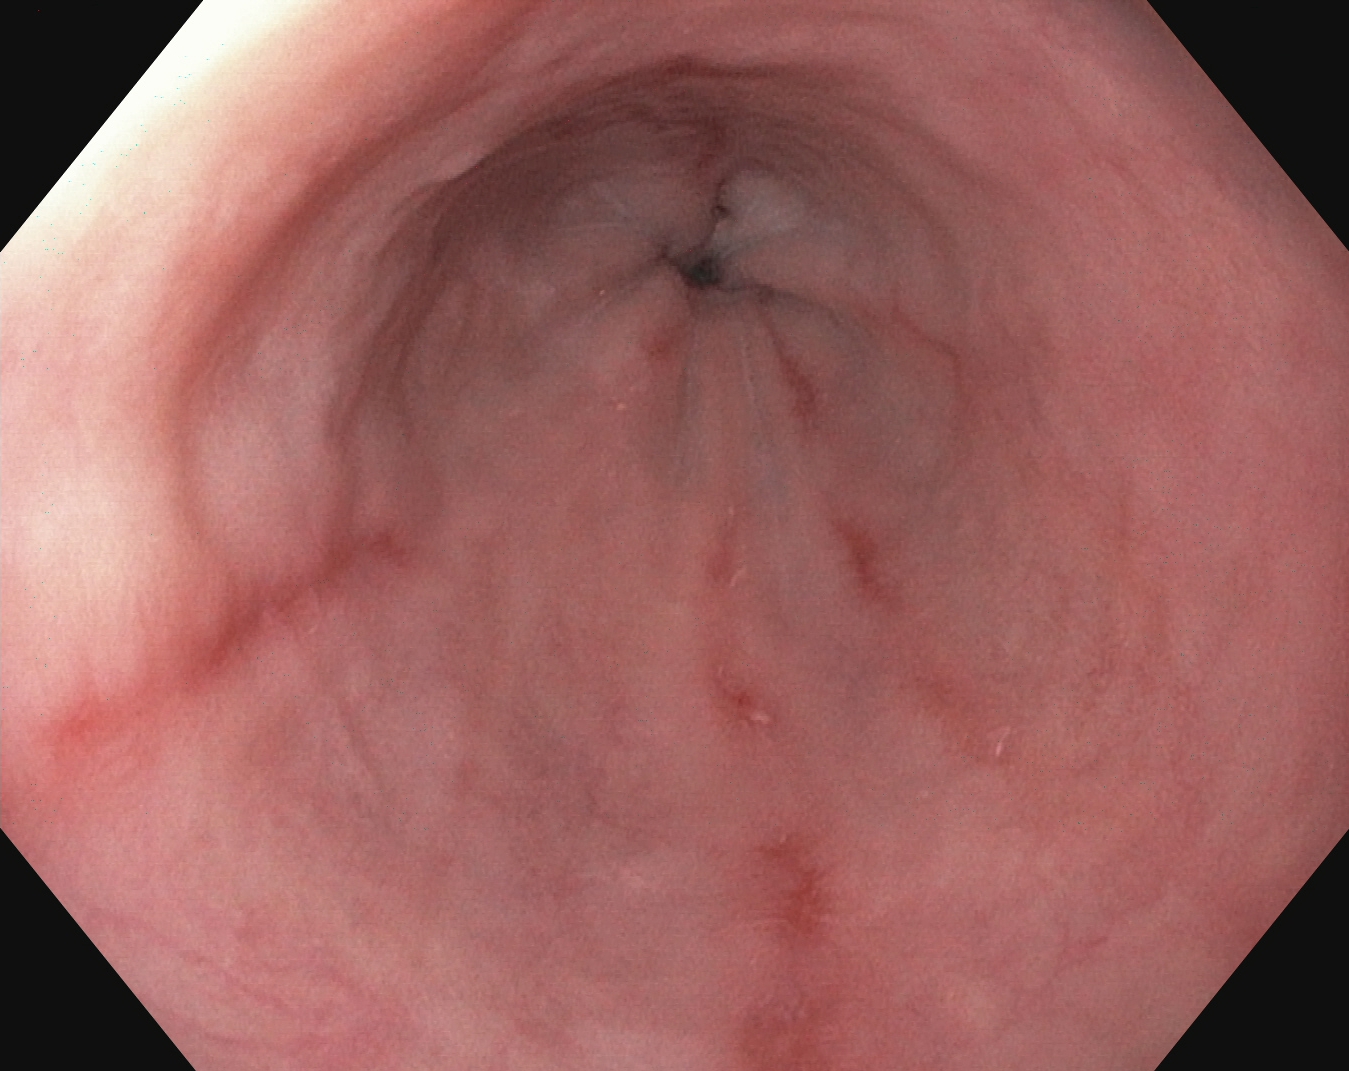EGD image showing reflux esophagitis, Los Angeles grade A.